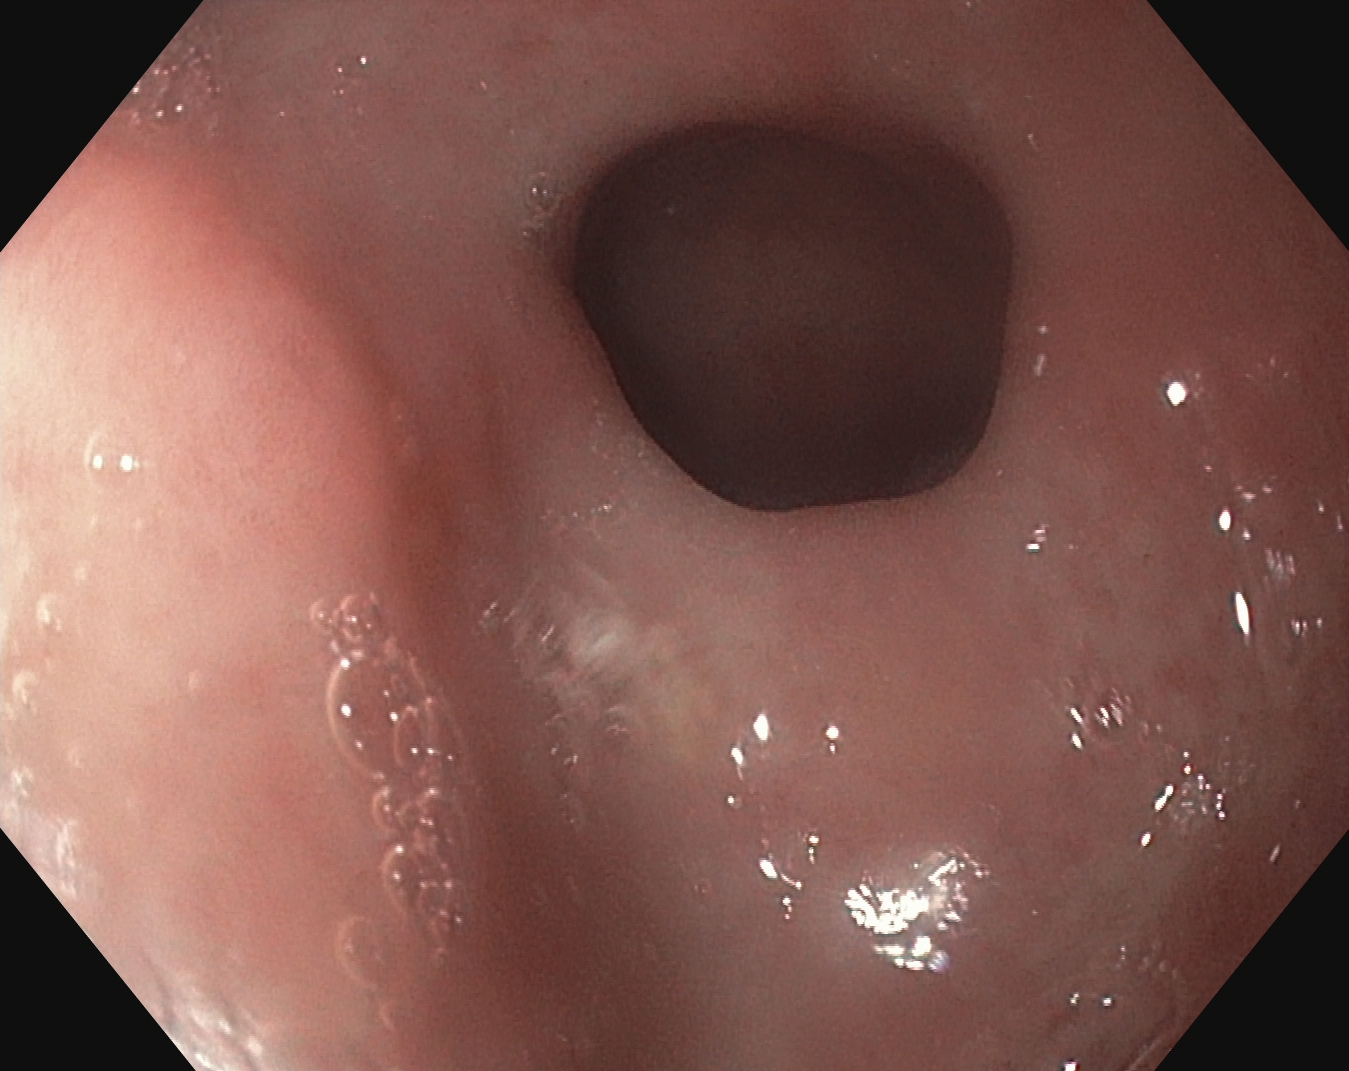Pylorus.